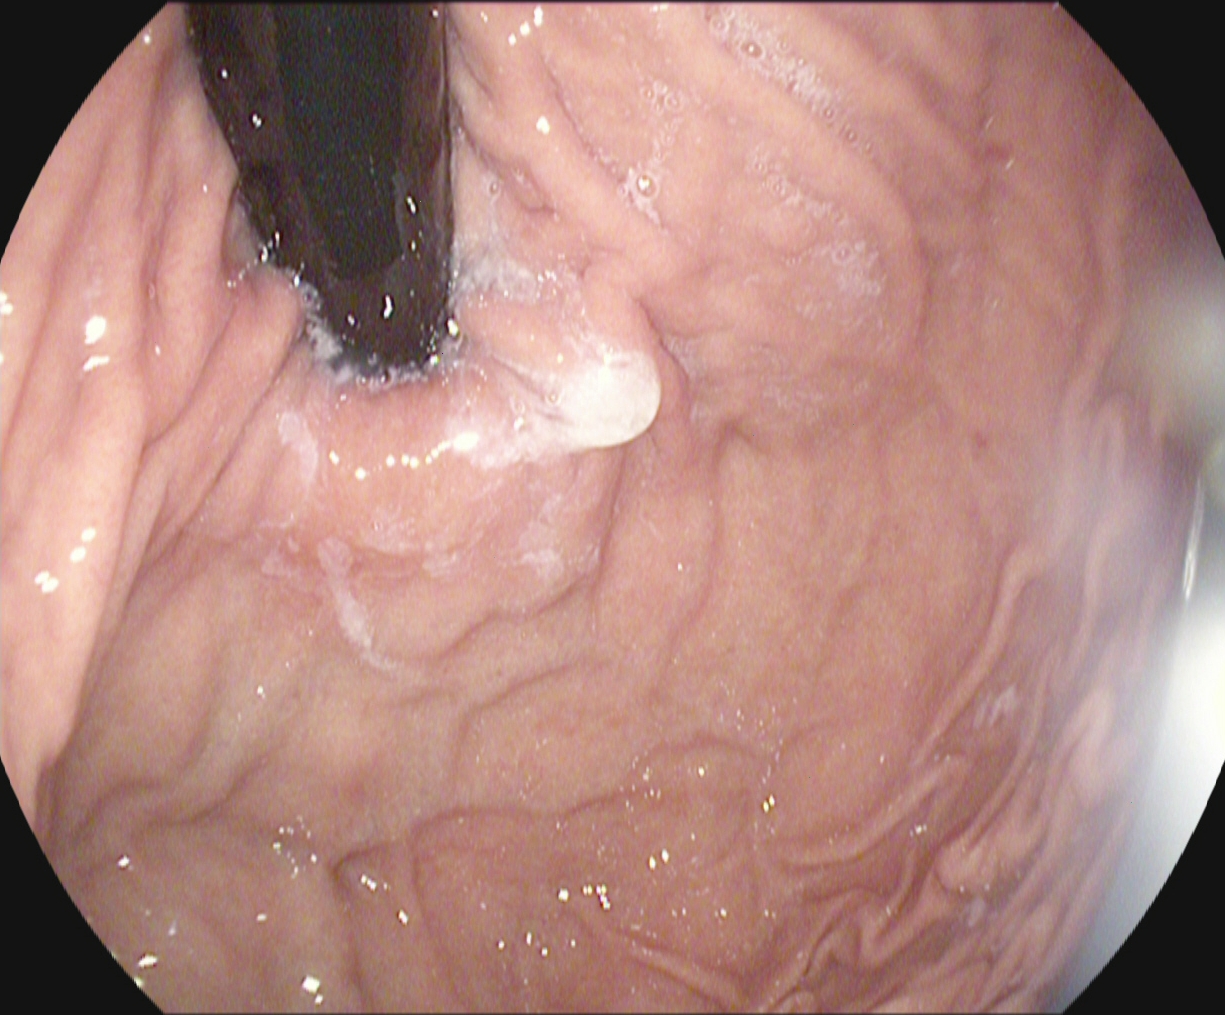modality: upper-GI endoscopy
tract: upper GI tract
category: anatomical landmark
finding: stomach in retroflexion